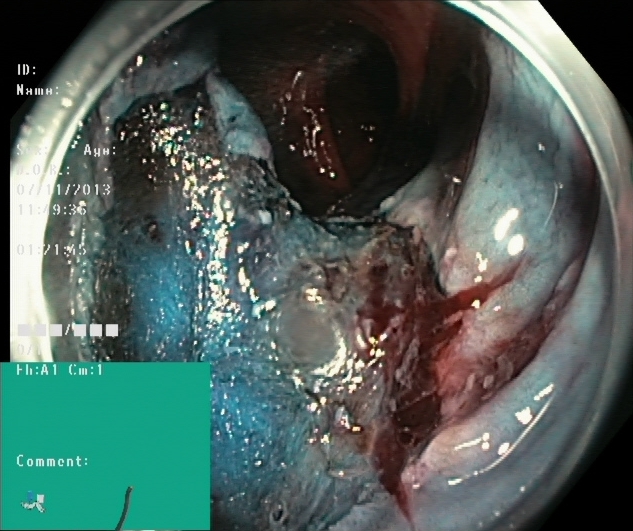Colonoscopy. Tract: lower GI tract. Therapeutic intervention. Finding: dyed resection margins (post-polypectomy).